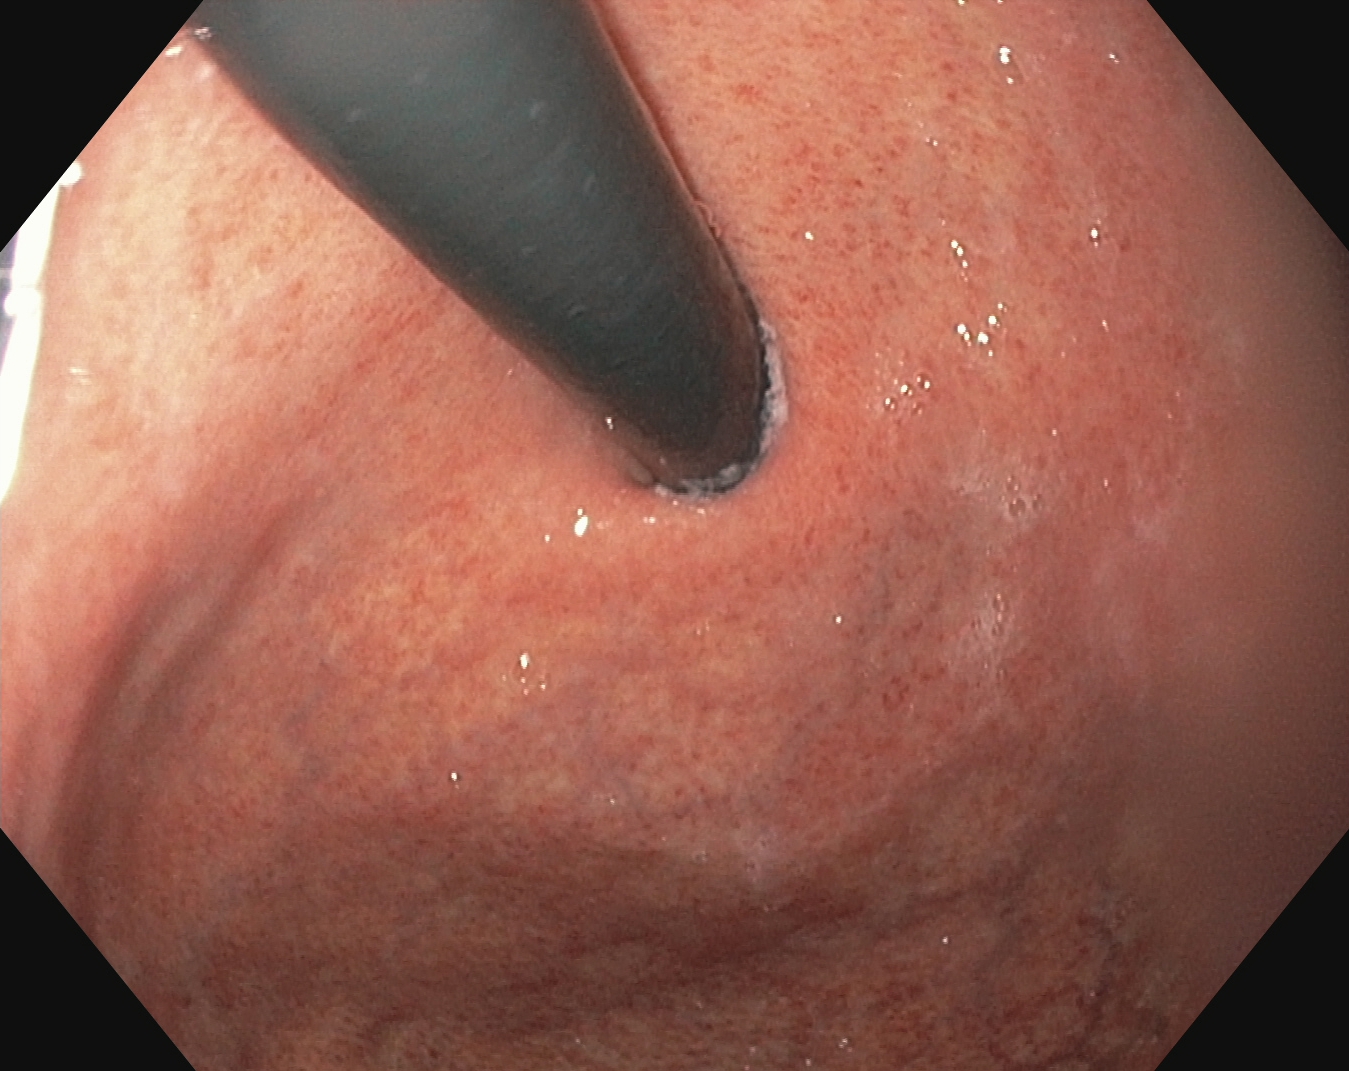modality: esophagogastroduodenoscopy; category: anatomical landmark; finding: stomach in retroflexion